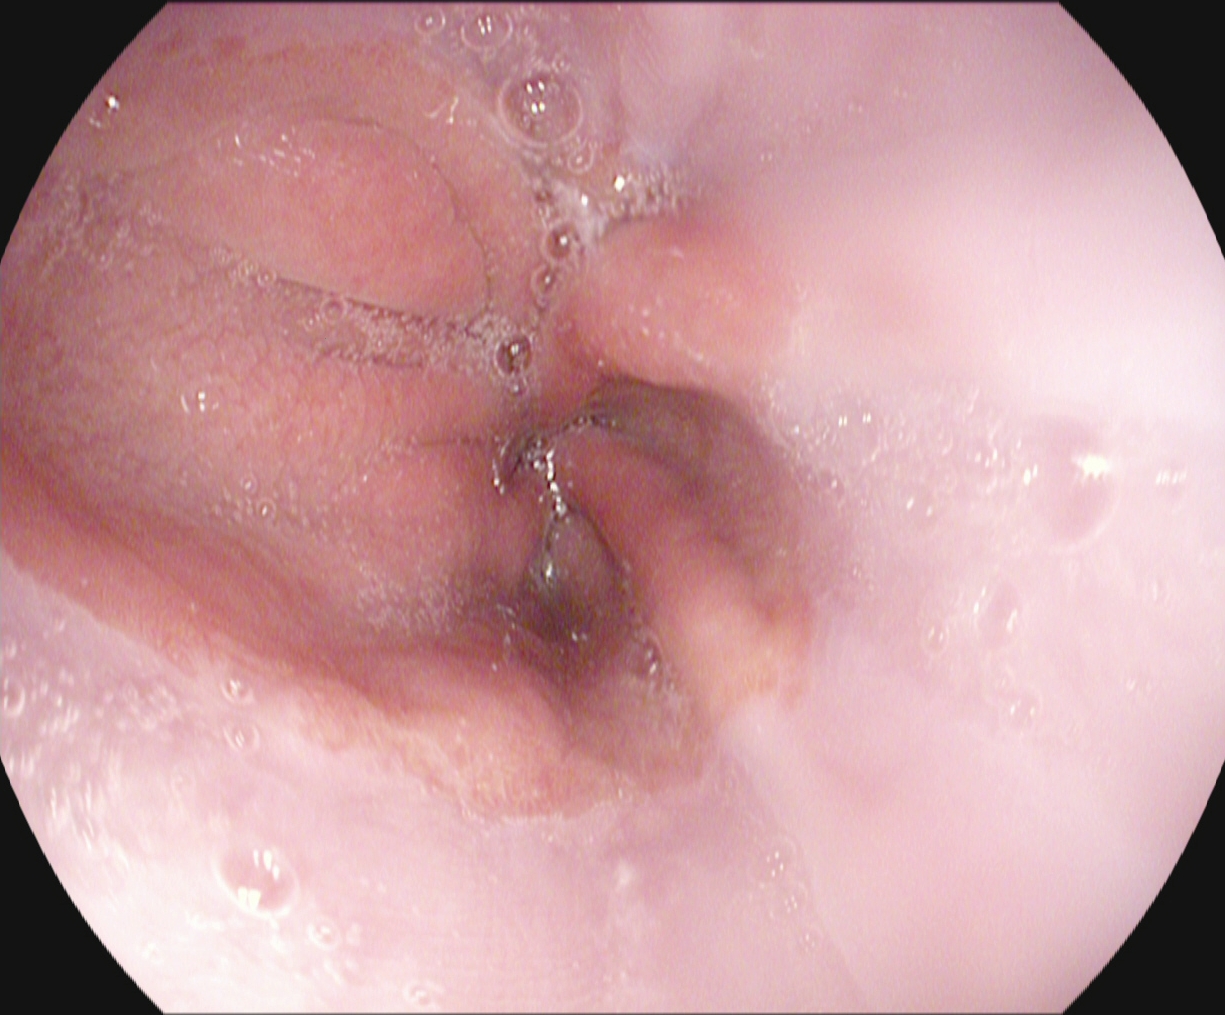modality: upper-GI endoscopy; finding: Z-line (gastroesophageal junction)